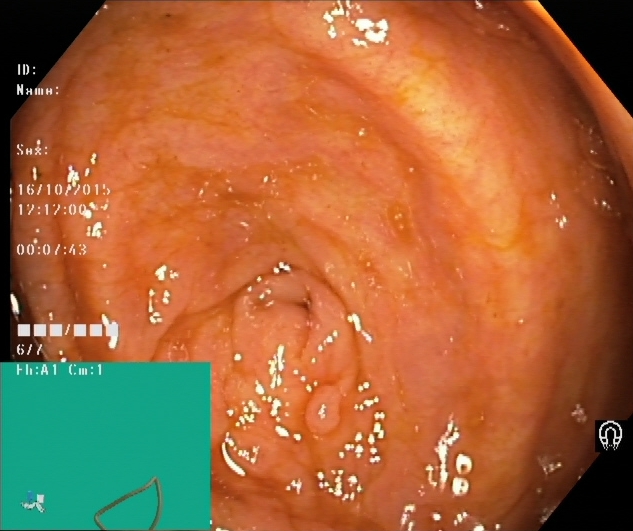Lower-GI endoscopy. Anatomical landmark. Finding: cecum.